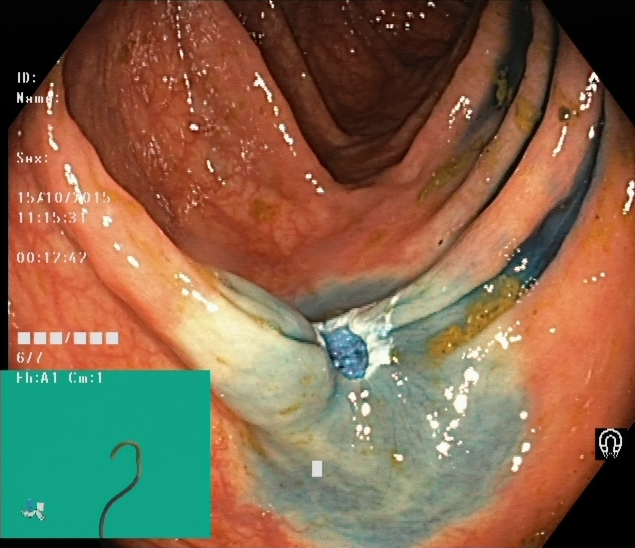dyed resection margins (post-polypectomy).